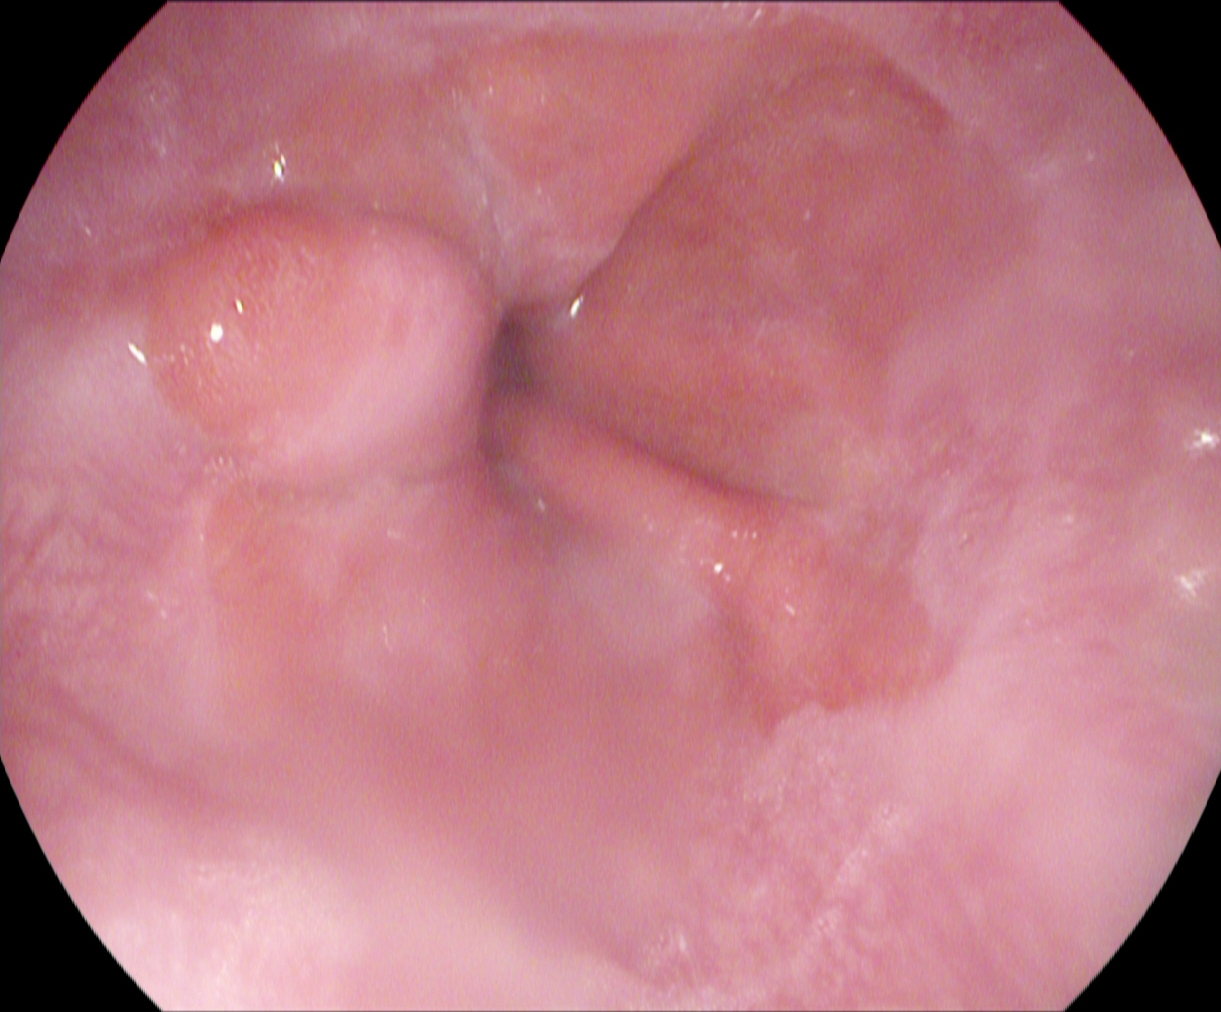{"modality": "EGD", "tract": "upper GI tract", "category": "anatomical landmark", "finding": "Z-line (gastroesophageal junction)"}